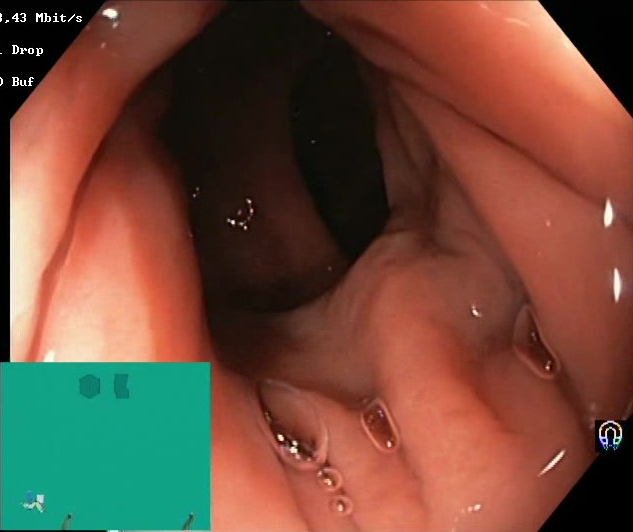{"modality": "lower gastrointestinal endoscopy", "finding": "Boston Bowel Preparation Scale score 2\u20133 (adequate preparation)"}